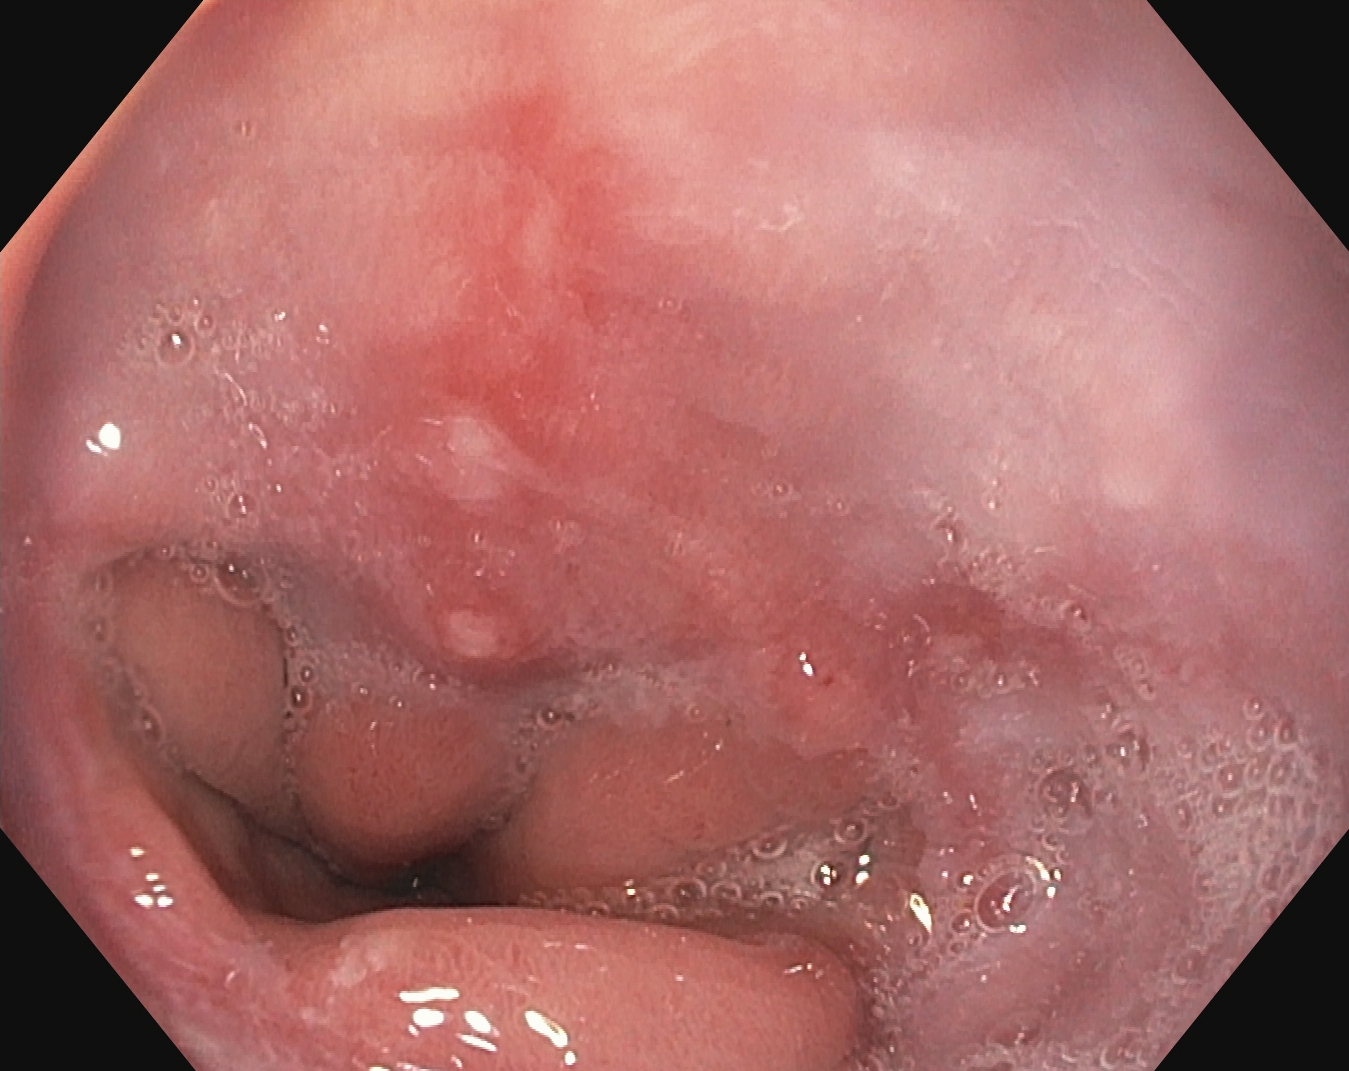modality: upper-GI endoscopy; category: pathological finding; finding: reflux esophagitis, Los Angeles grade B–D